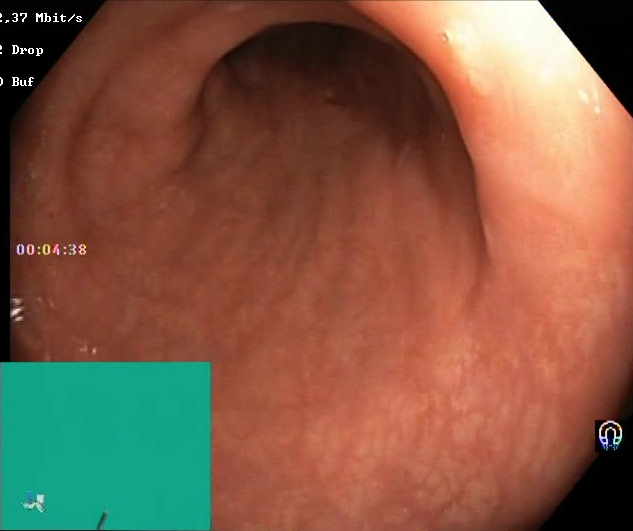PROCEDURE: Lower-GI endoscopy.
CATEGORY: Mucosal-view quality.
FINDINGS: Boston Bowel Preparation Scale score 2–3 (adequate preparation).